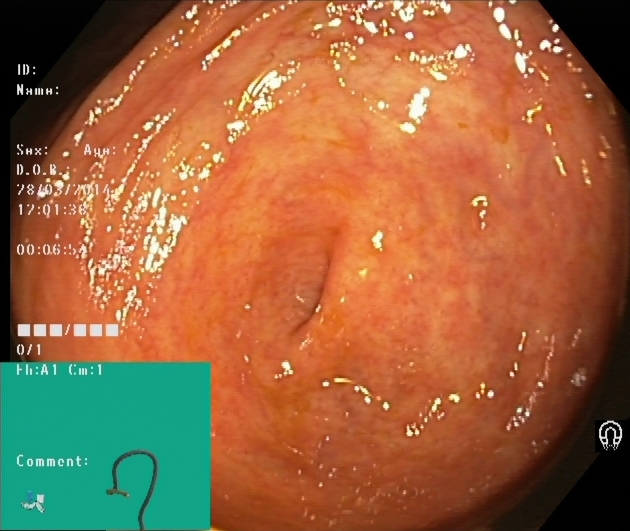GI endoscopy image of the lower GI tract showing cecum.